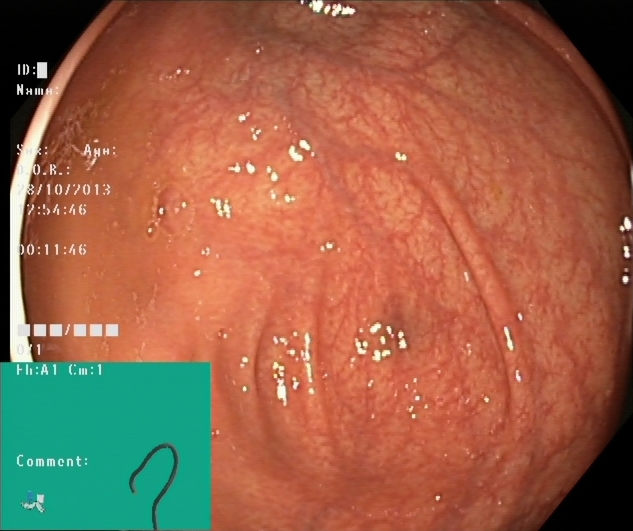{"modality": "lower gastrointestinal endoscopy", "tract": "lower GI tract", "category": "anatomical landmark", "finding": "cecum"}